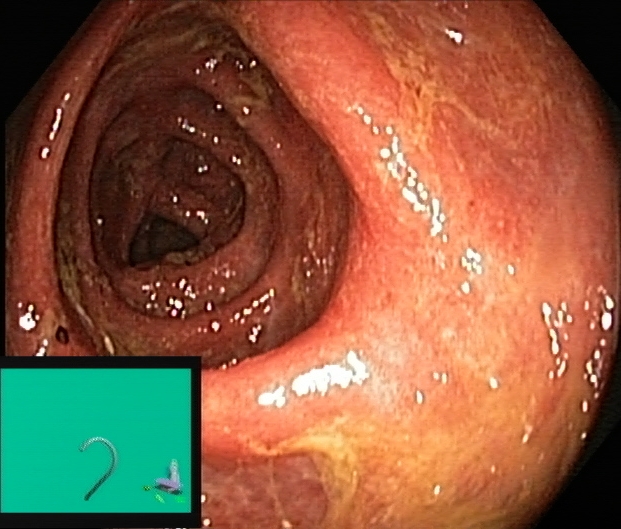PROCEDURE: Lower gastrointestinal endoscopy.
FINDINGS: UC, Mayo endoscopic subscore 2.